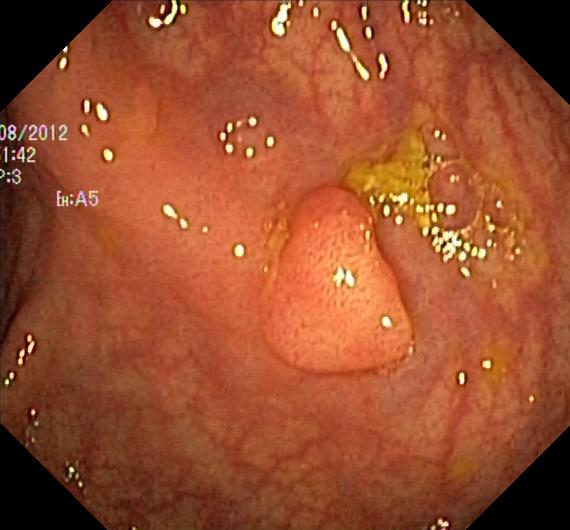{"modality": "lower-GI endoscopy", "tract": "lower GI tract", "finding": "colorectal polyp(s)"}